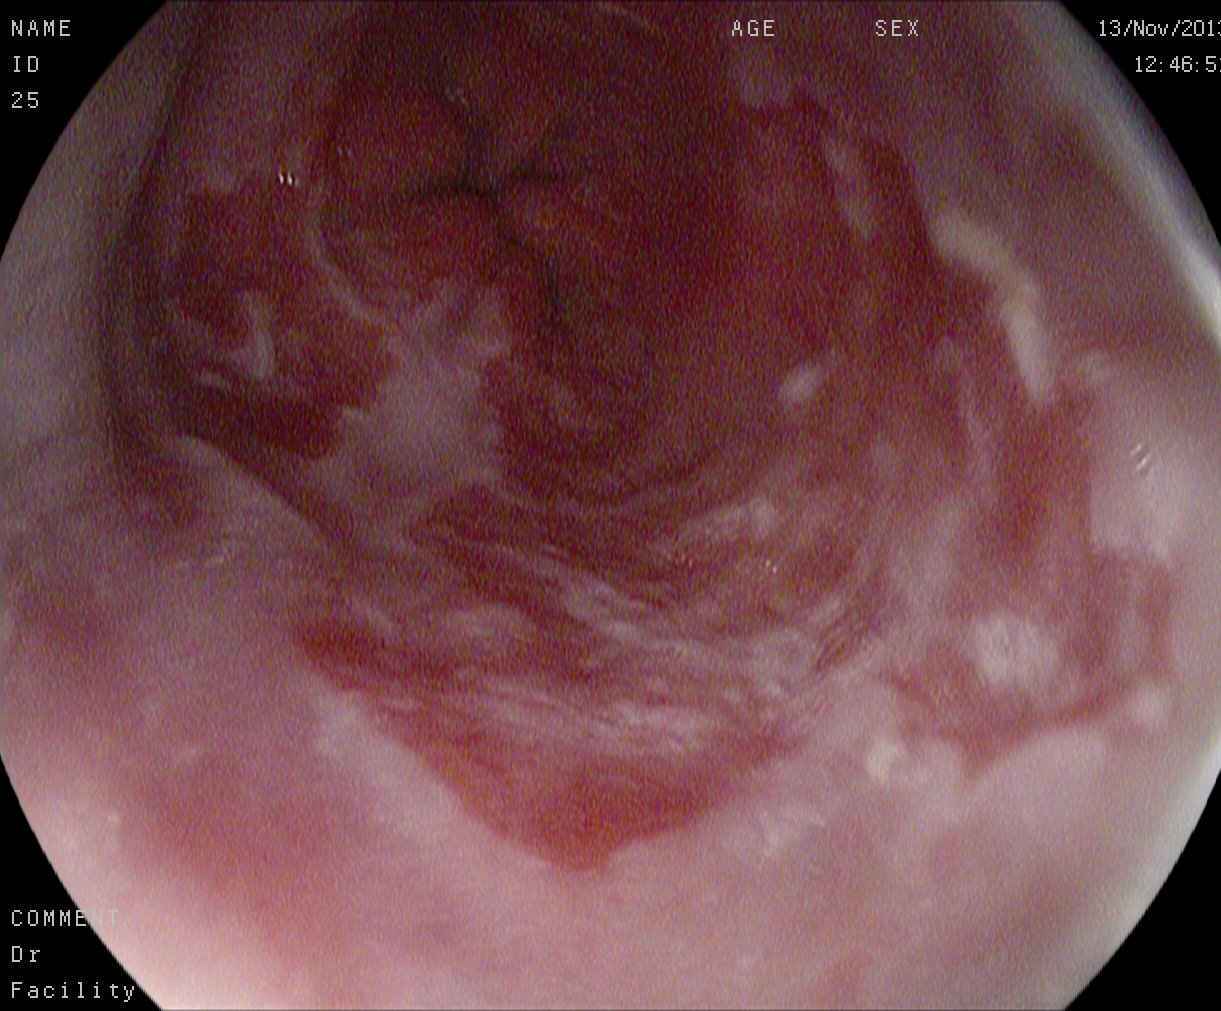Barrett's esophagus.